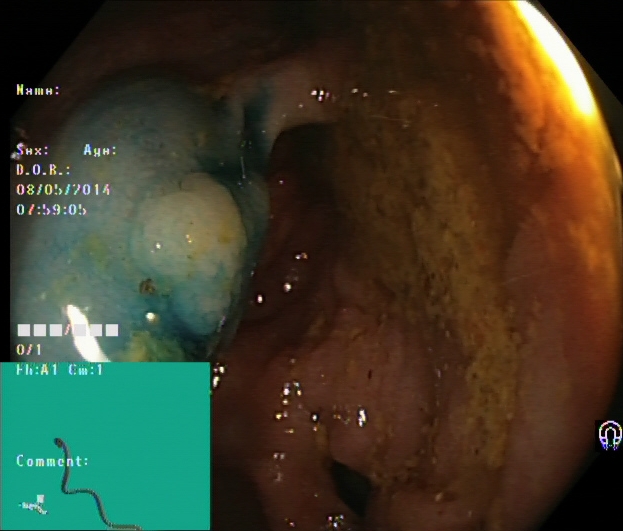Colonoscopy. Finding: dyed and lifted polyp (pre-resection).